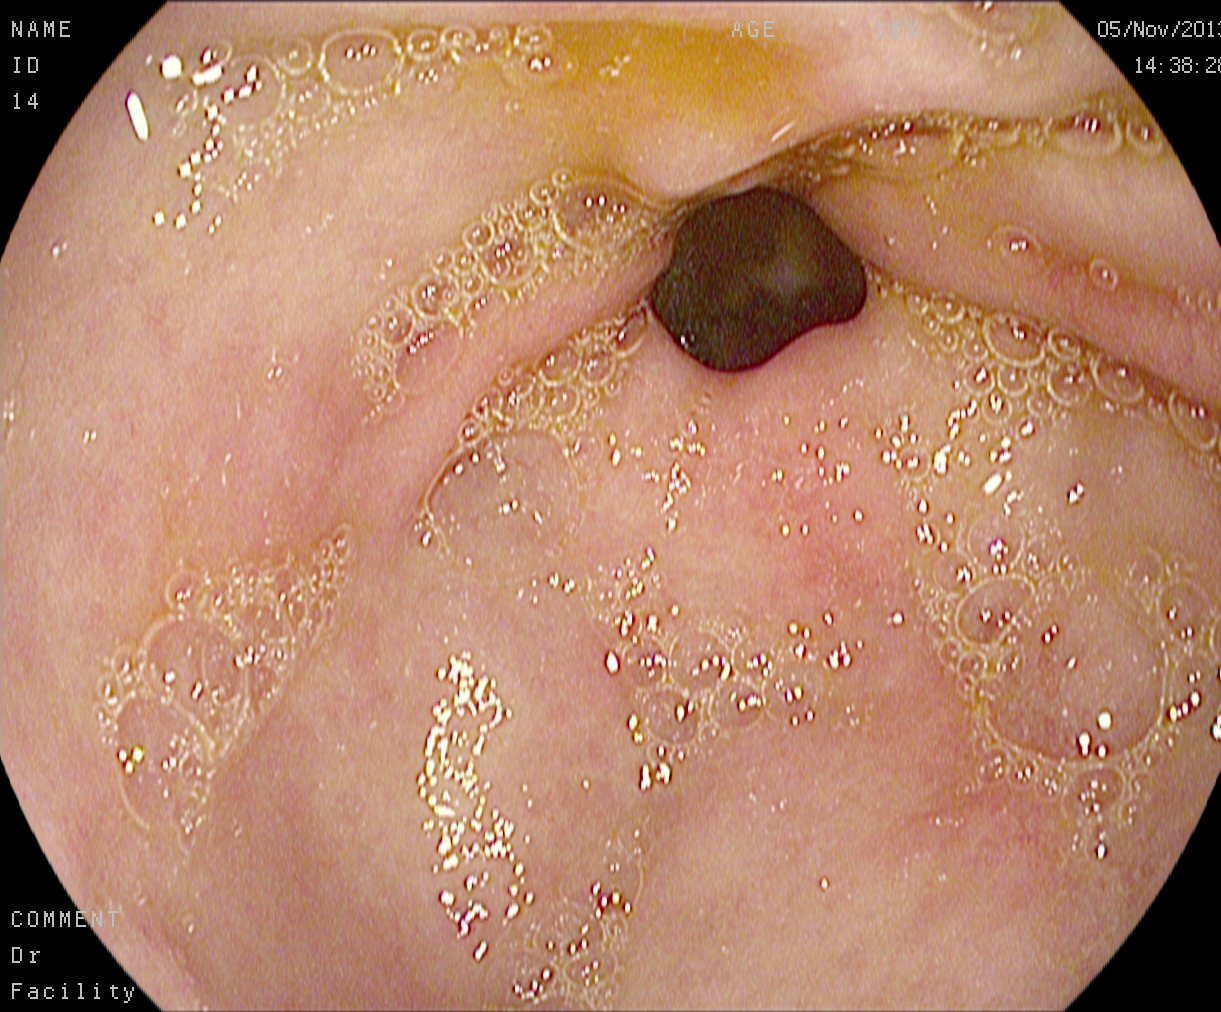PROCEDURE: Upper-GI endoscopy.
CATEGORY: Anatomical landmark.
FINDINGS: Pylorus.